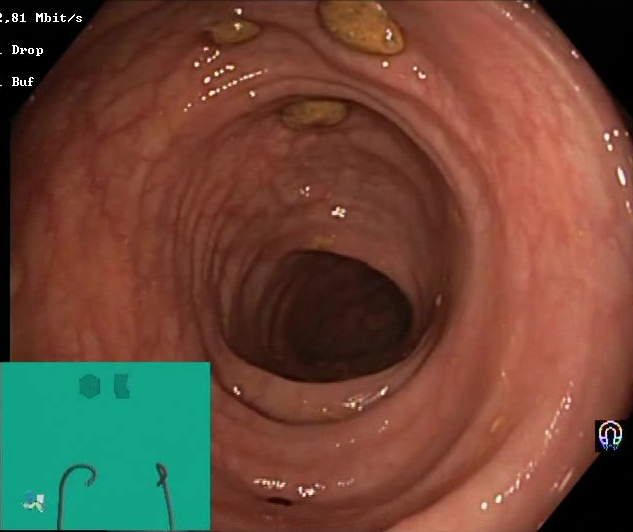PROCEDURE: Lower gastrointestinal endoscopy.
FINDINGS: Impacted stool.